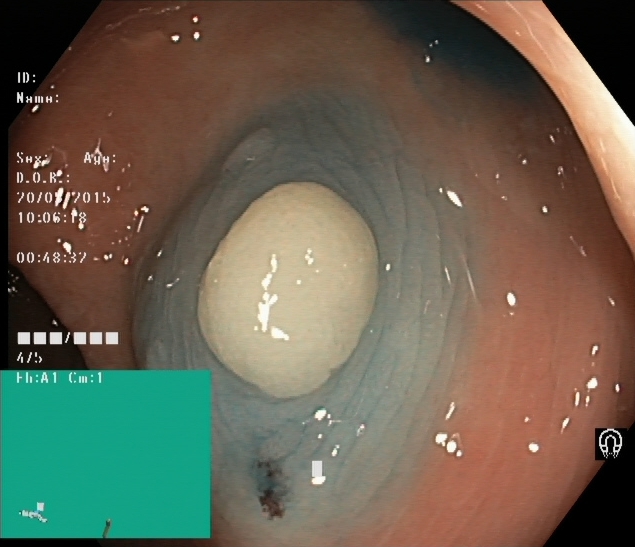Lower gastrointestinal endoscopy — dyed and lifted polyp (pre-resection).